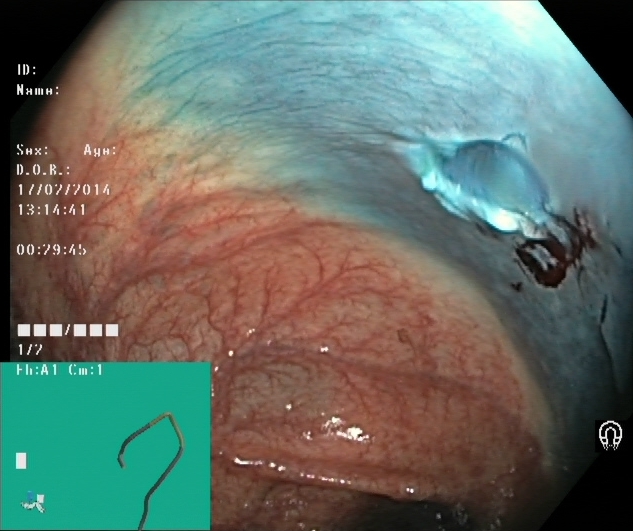This endoscopic image shows dyed resection margins (post-polypectomy).